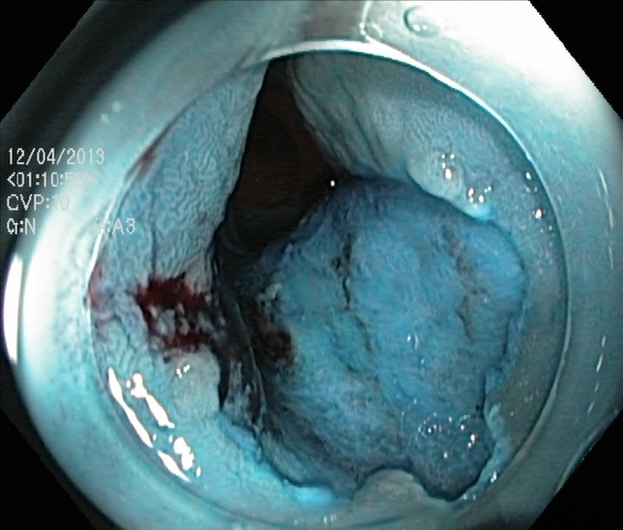Colonoscopy. Finding: dyed resection margins (post-polypectomy).